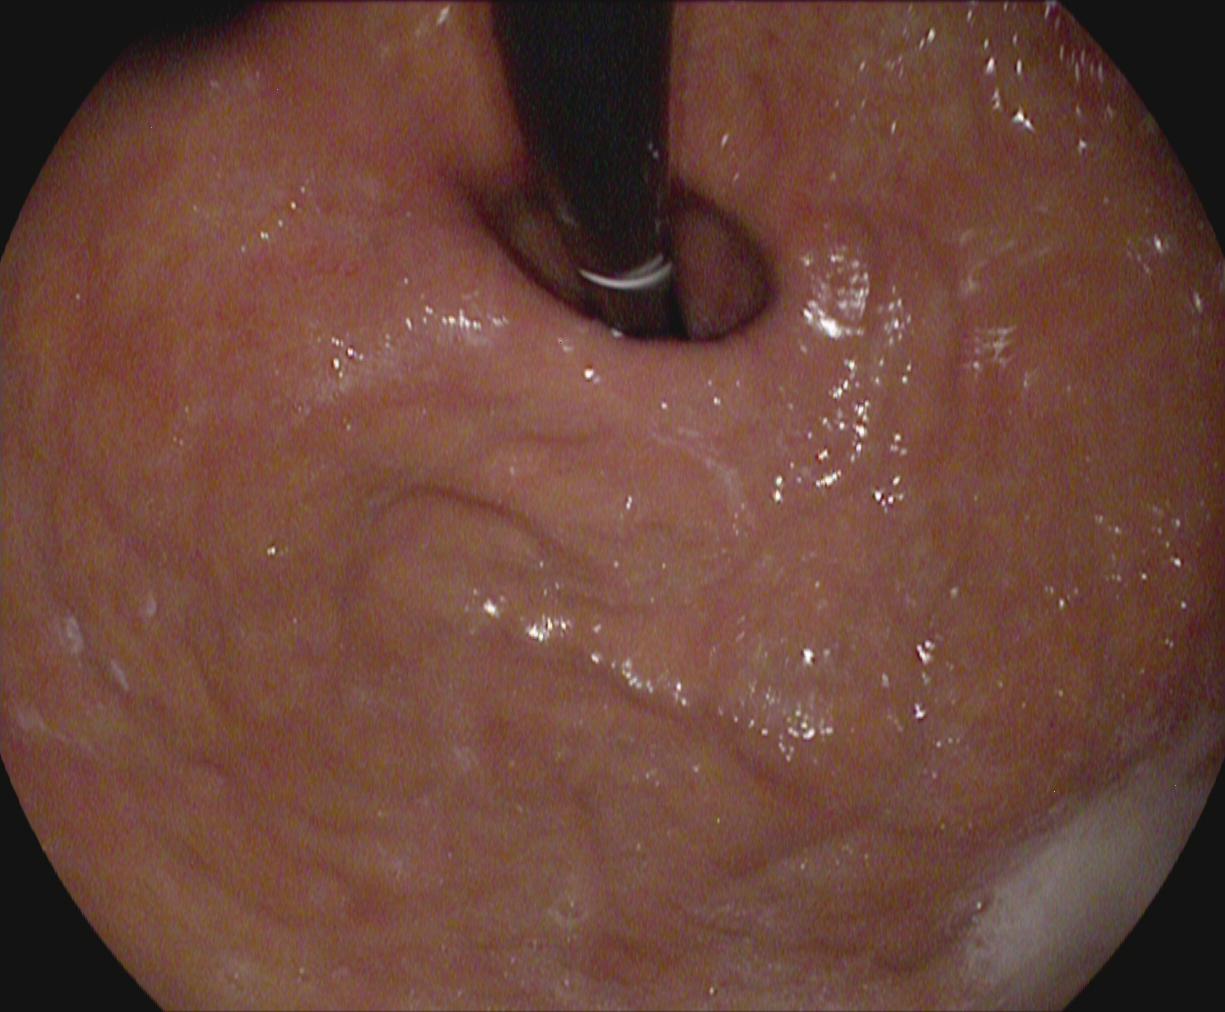Esophagogastroduodenoscopy. Tract: upper GI tract. Finding: stomach in retroflexion.